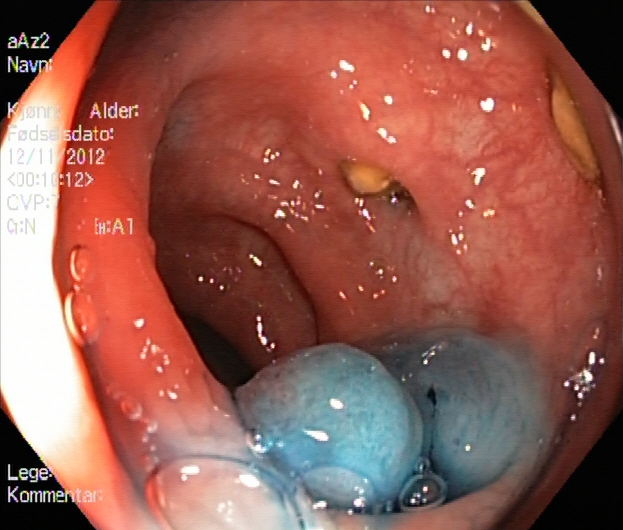modality: lower-GI endoscopy | tract: lower GI tract | category: therapeutic intervention | finding: dyed and lifted polyp (pre-resection)